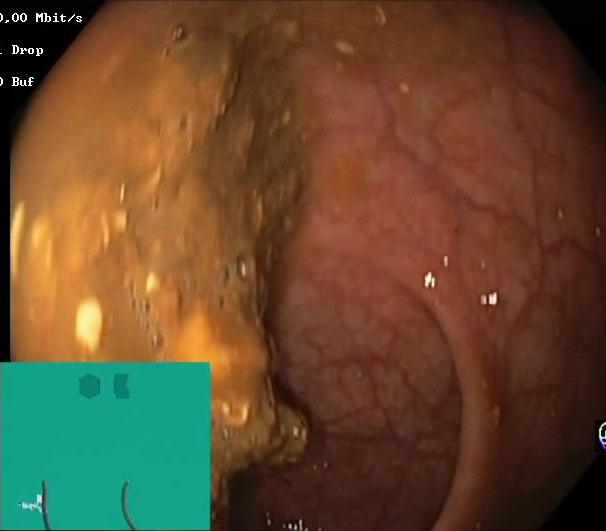Colonoscopy. Tract: lower GI tract. Finding: Boston Bowel Preparation Scale score 0–1 (inadequate preparation).